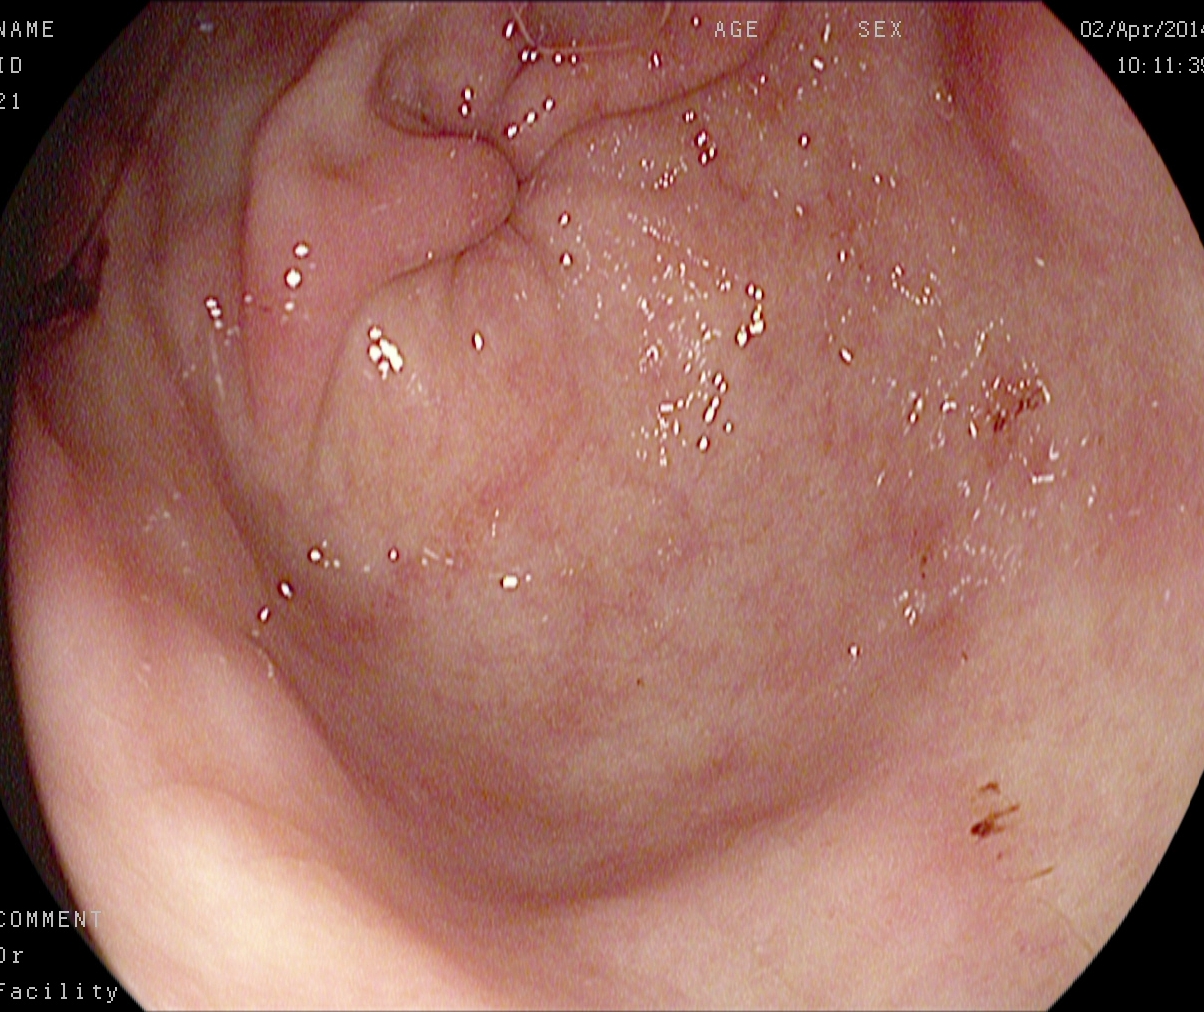EGD. Finding: pylorus.